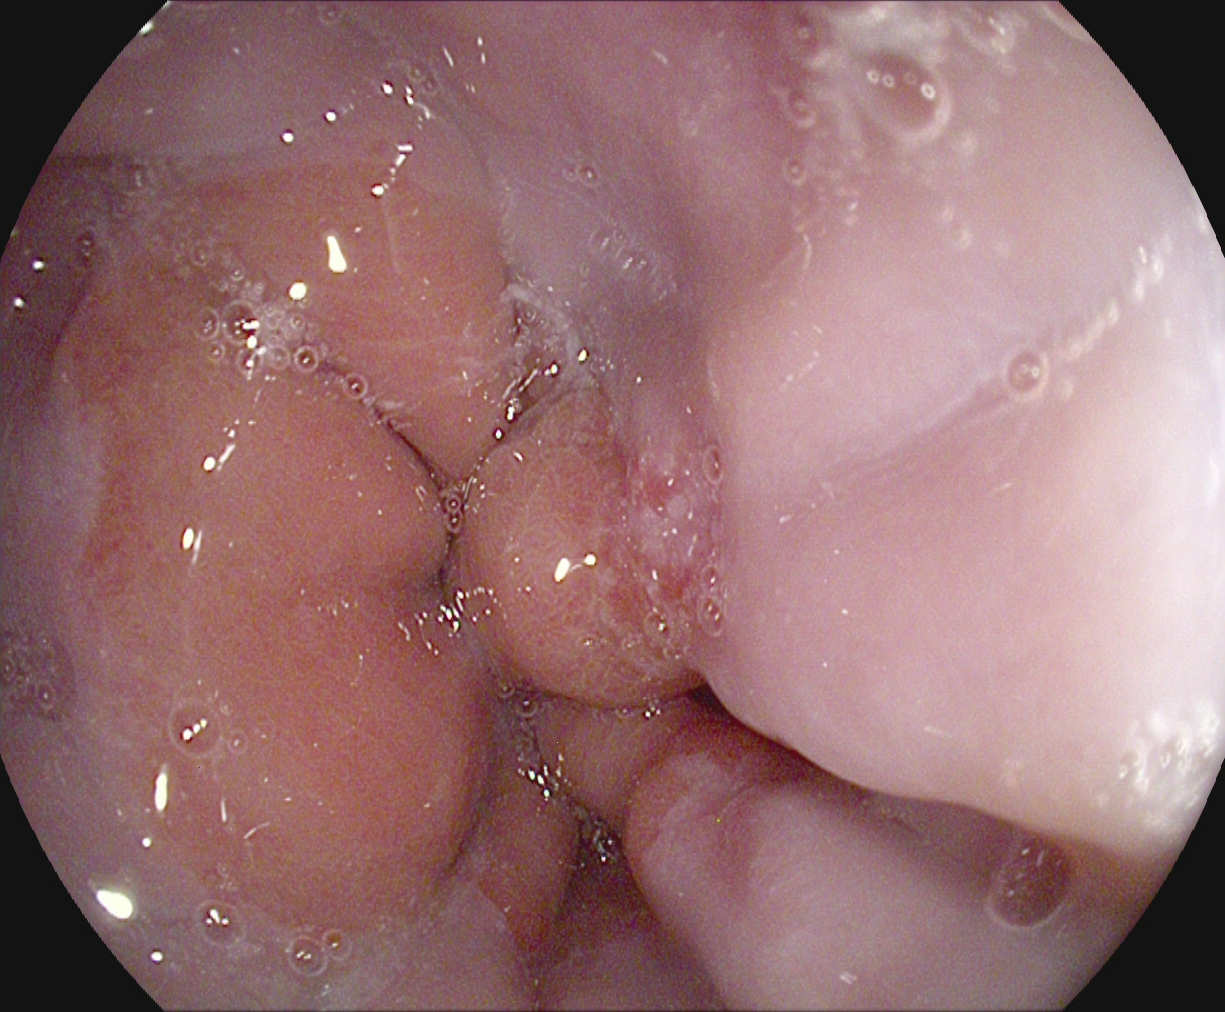Reflux esophagitis, LA grade A.